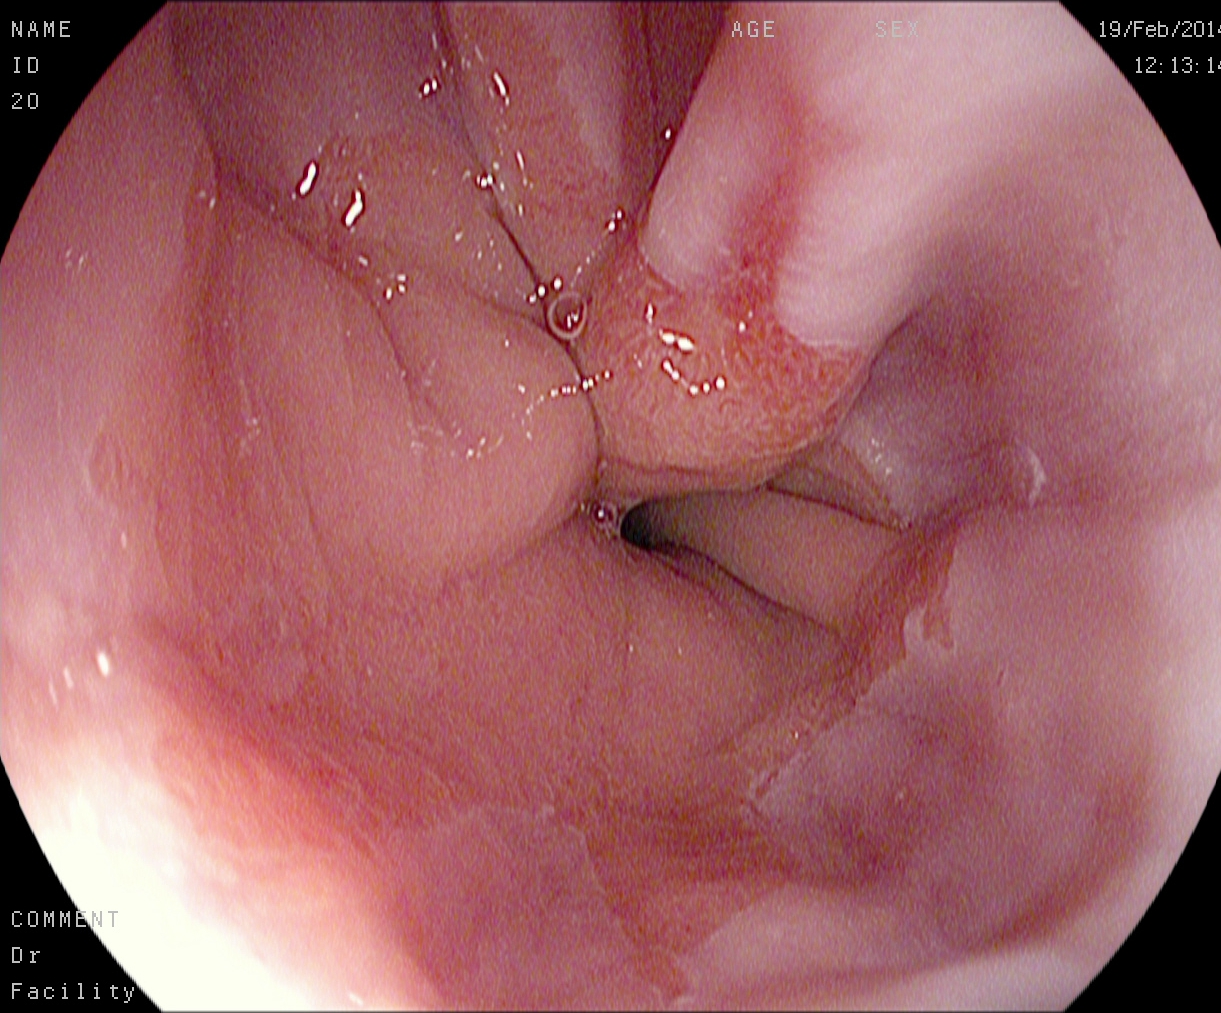Gastroscopy — reflux esophagitis, Los Angeles grade A.